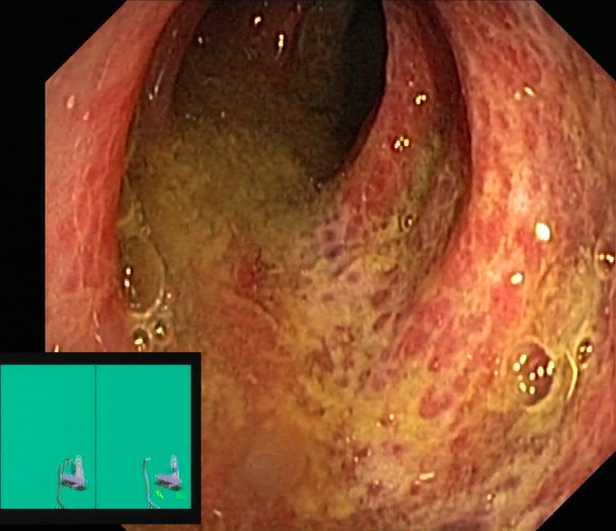This endoscopy frame of the lower GI tract shows ulcerative colitis, Mayo endoscopic subscore 2–3.